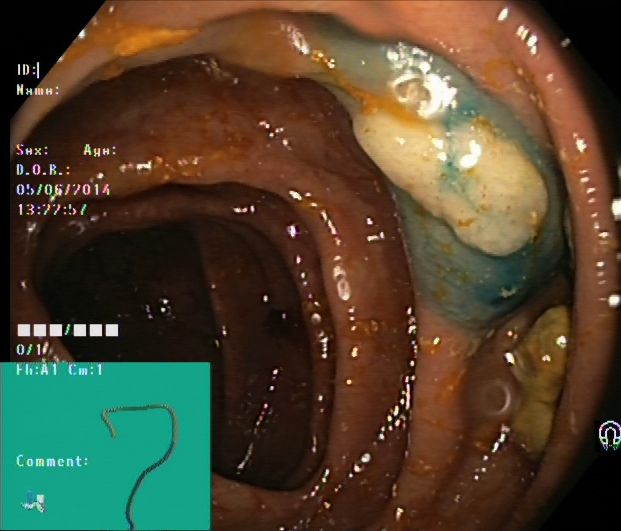Colonoscopy image of the lower GI tract showing dyed and lifted polyp (pre-resection).